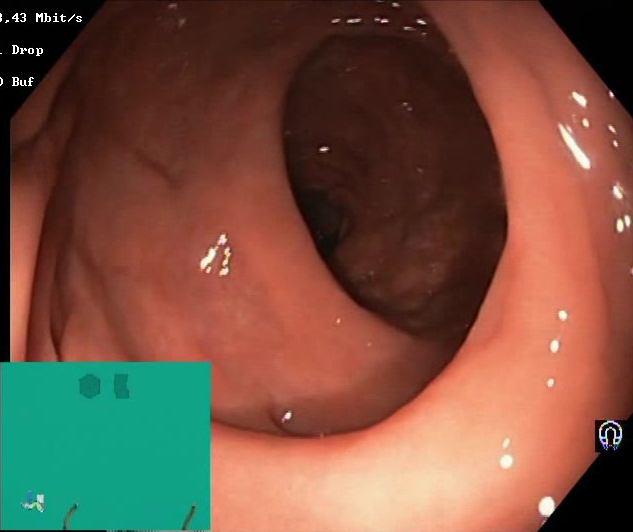Gastrointestinal endoscopy image of the lower GI tract showing Boston Bowel Preparation Scale score 2–3 (adequate preparation).